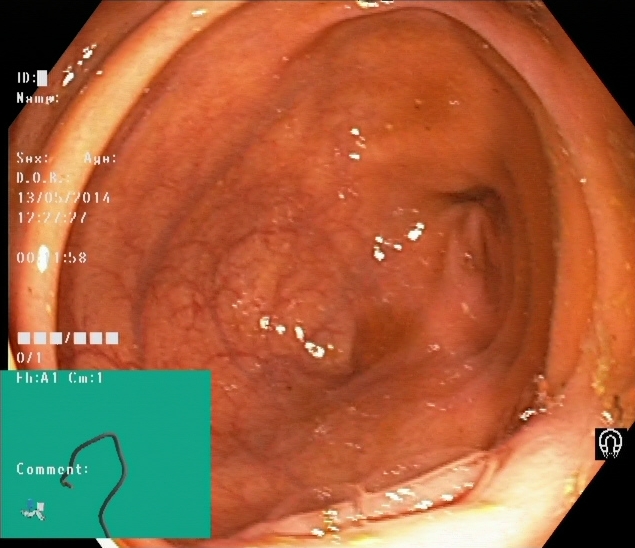cecum.